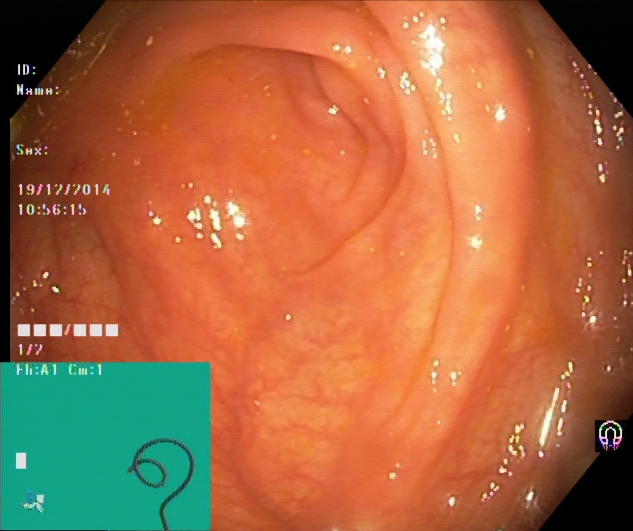modality: lower-GI endoscopy
tract: lower GI tract
category: anatomical landmark
finding: cecum